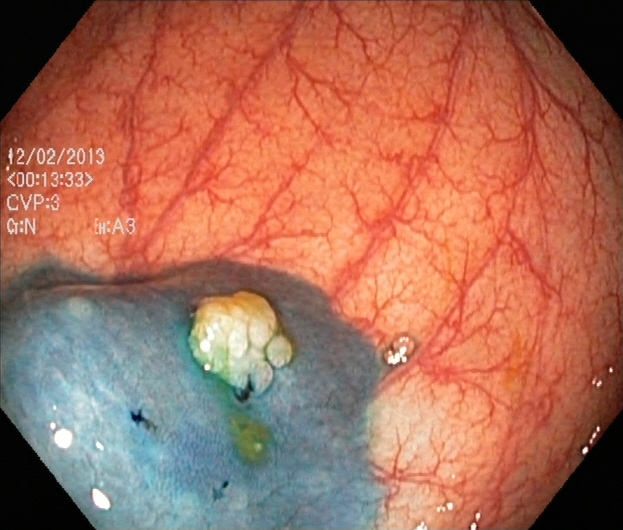modality: colonoscopy
tract: lower GI tract
finding: dyed and lifted polyp (pre-resection)